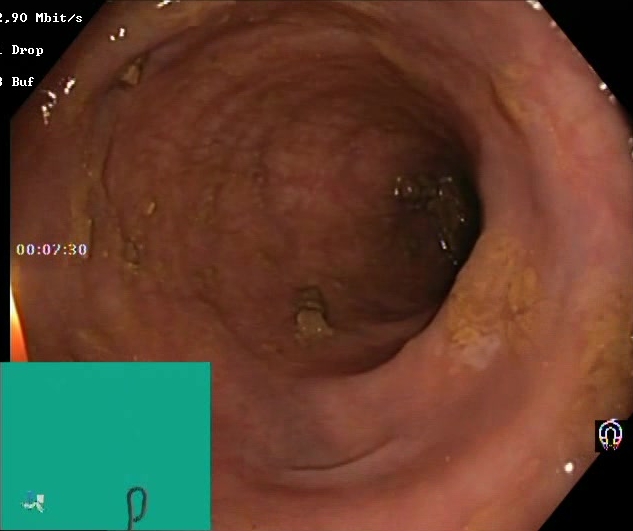Lower-GI endoscopy — Boston Bowel Preparation Scale score 2–3 (adequate preparation).